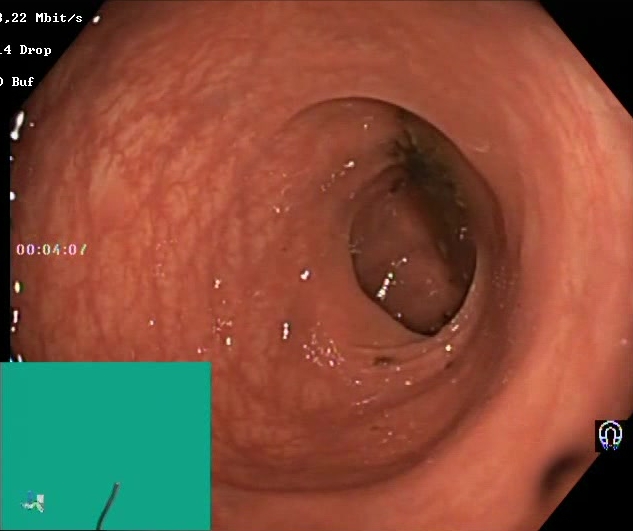Boston Bowel Preparation Scale score 0–1 (inadequate preparation).